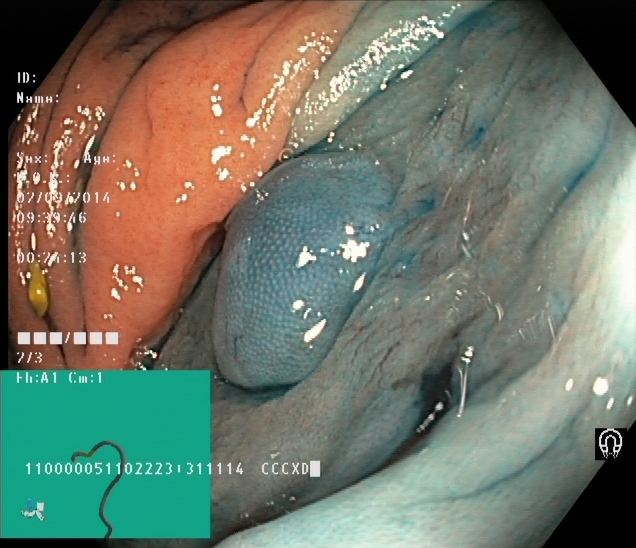dyed and lifted polyp (pre-resection).